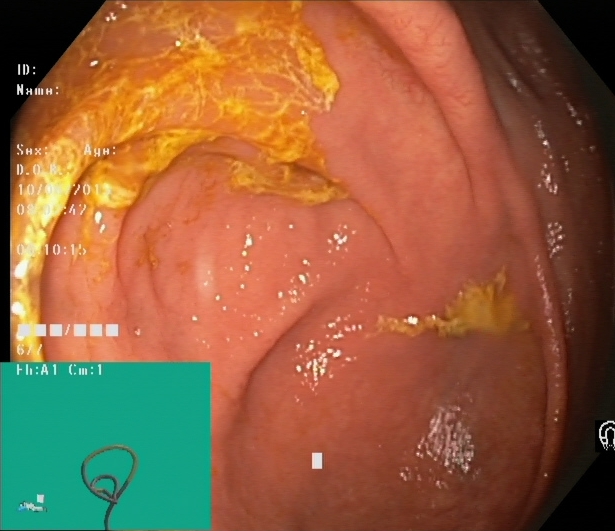This endoscopy frame shows cecum.